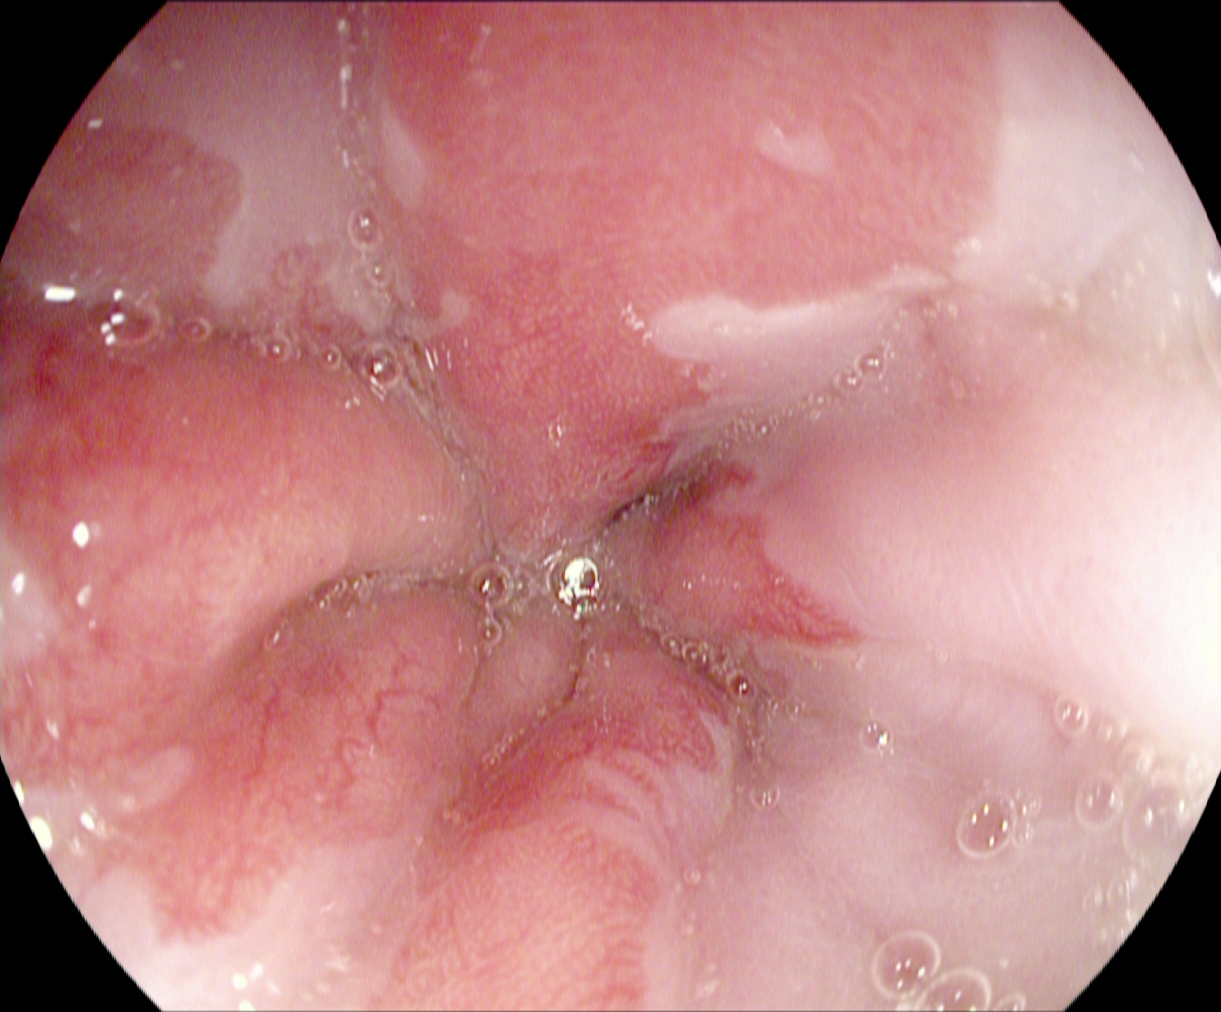PROCEDURE: EGD.
CATEGORY: Anatomical landmark.
FINDINGS: Z-line (gastroesophageal junction).